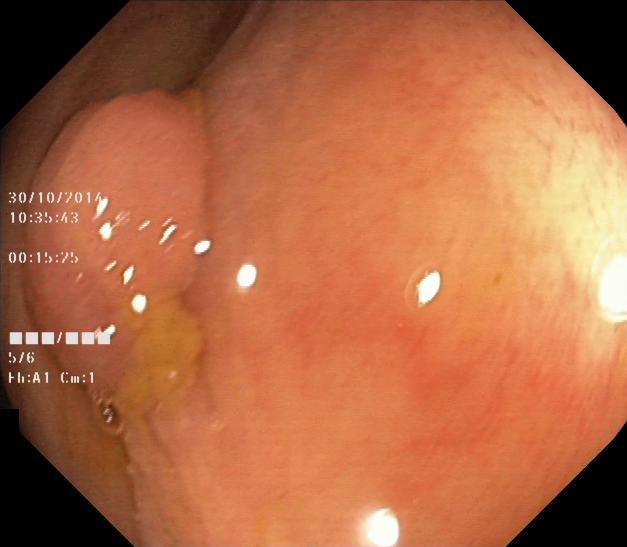PROCEDURE: Lower gastrointestinal endoscopy.
CATEGORY: Pathological finding.
FINDINGS: Colorectal polyp(s).